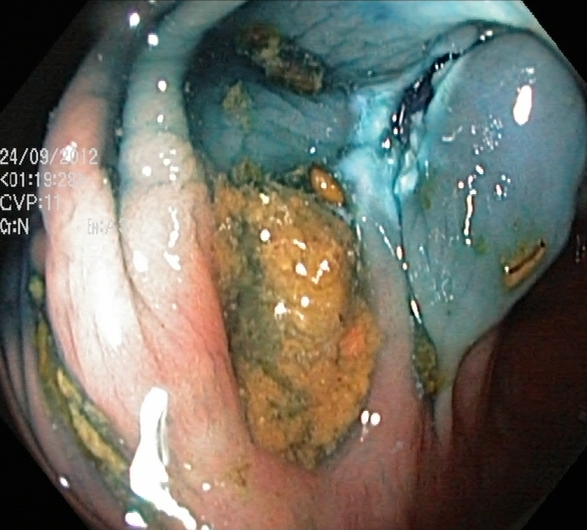Gastrointestinal endoscopy image showing dyed resection margins (post-polypectomy).